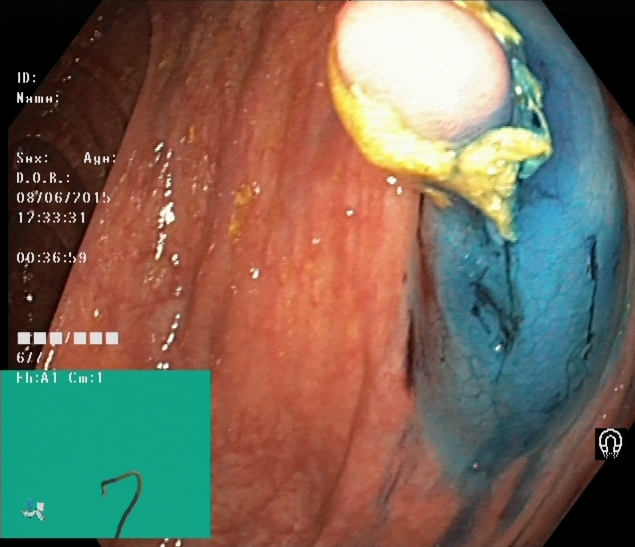Lower-GI endoscopy — dyed and lifted polyp (pre-resection).